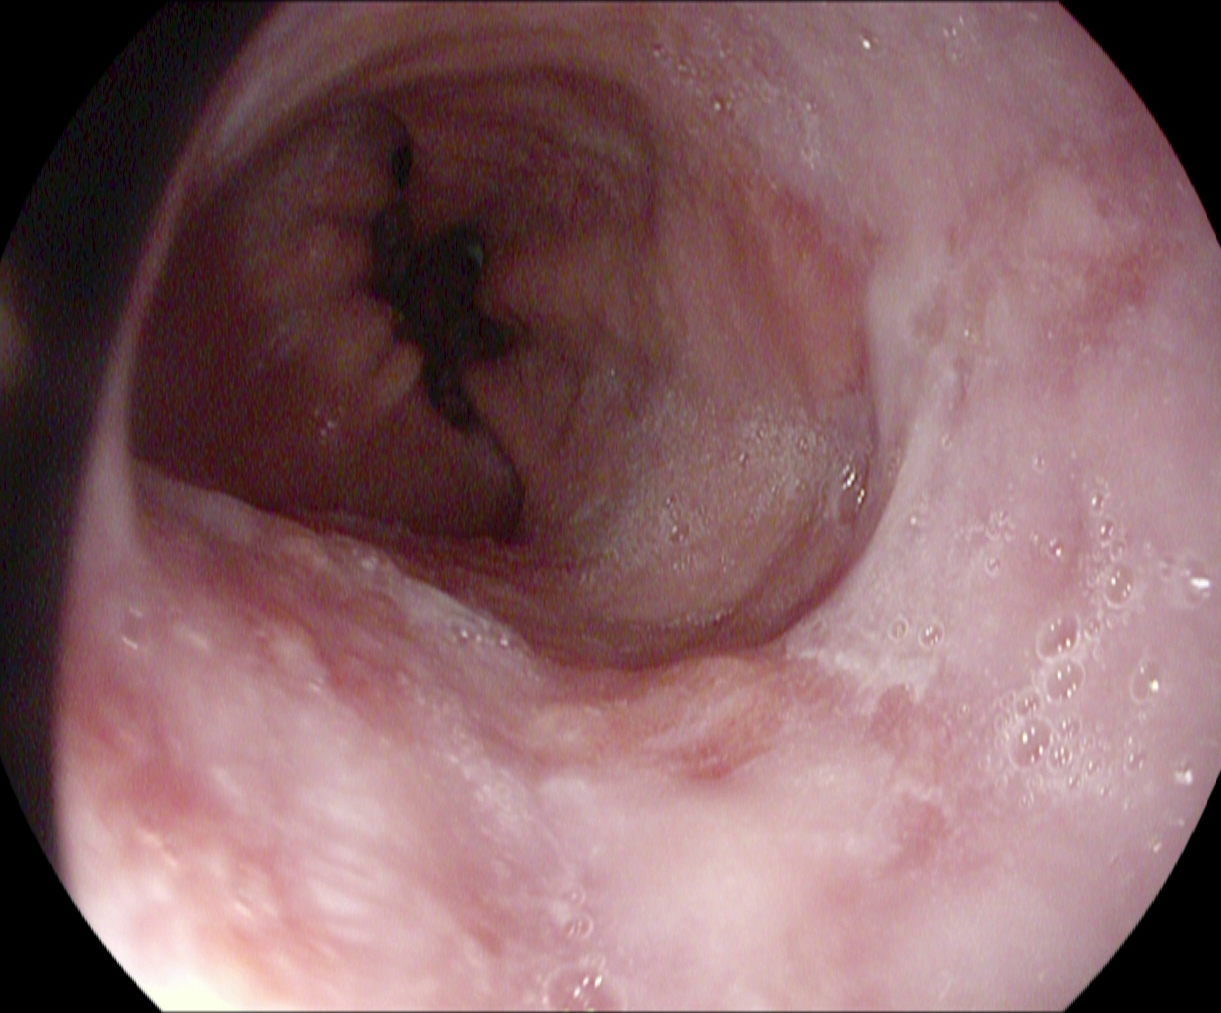This endoscopic image of the upper GI tract shows reflux esophagitis, Los Angeles grade A.